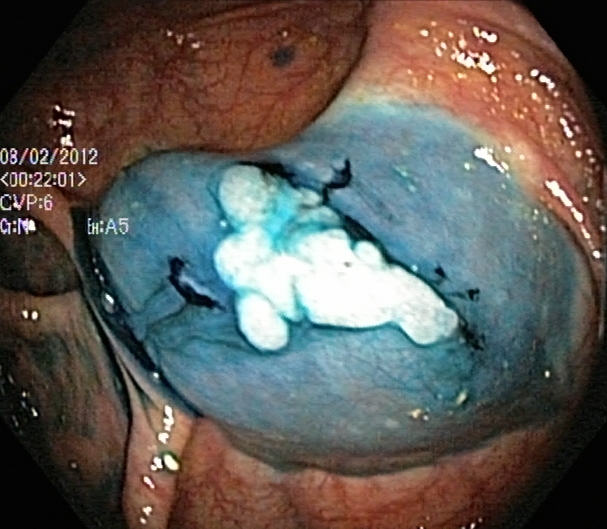PROCEDURE: Lower gastrointestinal endoscopy.
FINDINGS: Dyed and lifted polyp (pre-resection).